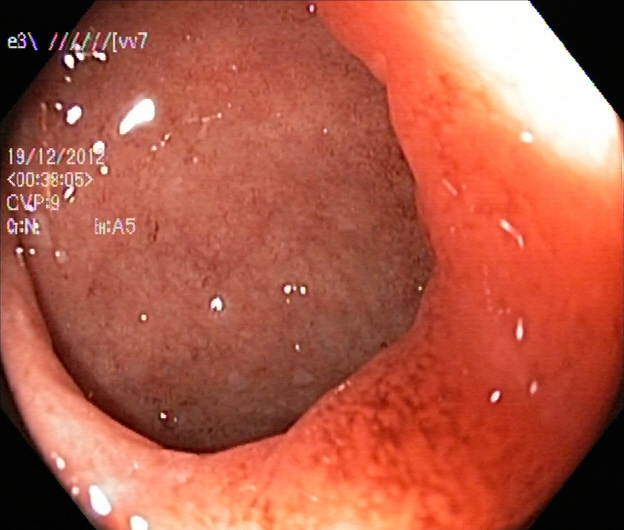This endoscopy frame shows ulcerative colitis, Mayo endoscopic subscore 2.